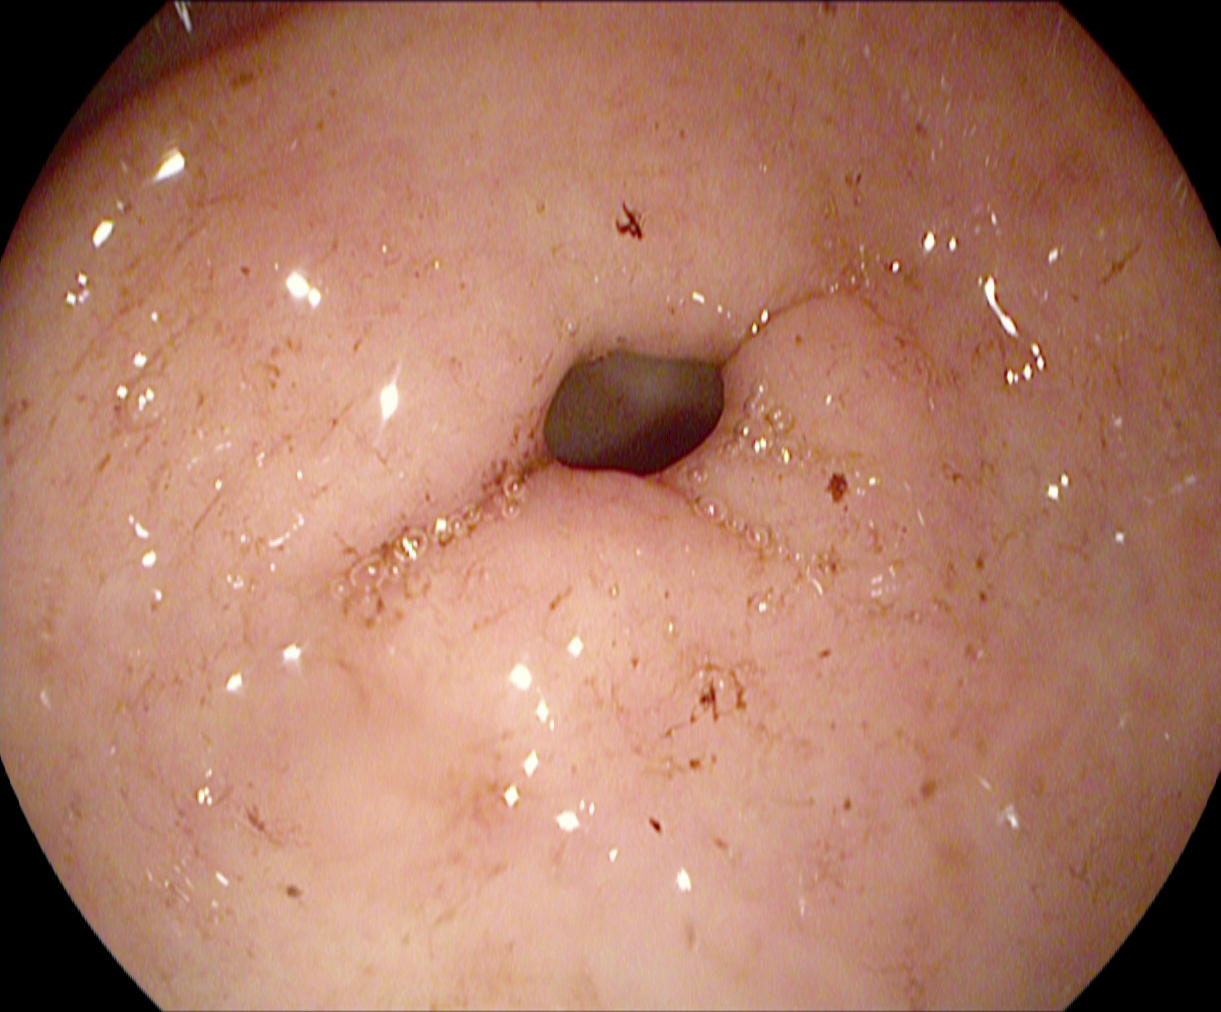Gastroscopy — pylorus.